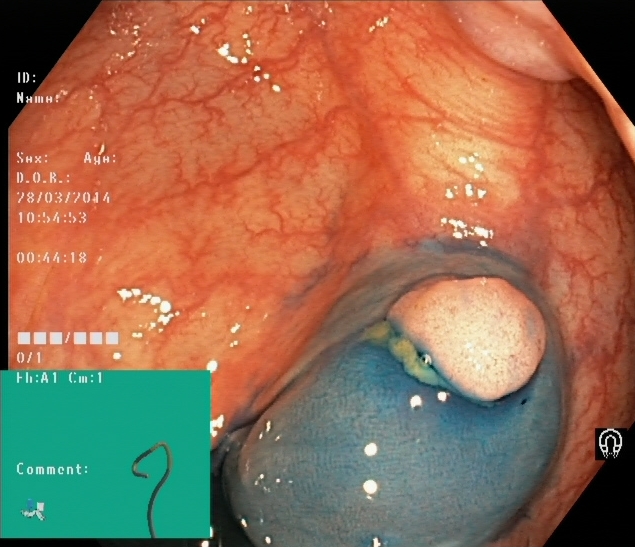Colonoscopy. Tract: lower GI tract. Finding: dyed and lifted polyp (pre-resection).